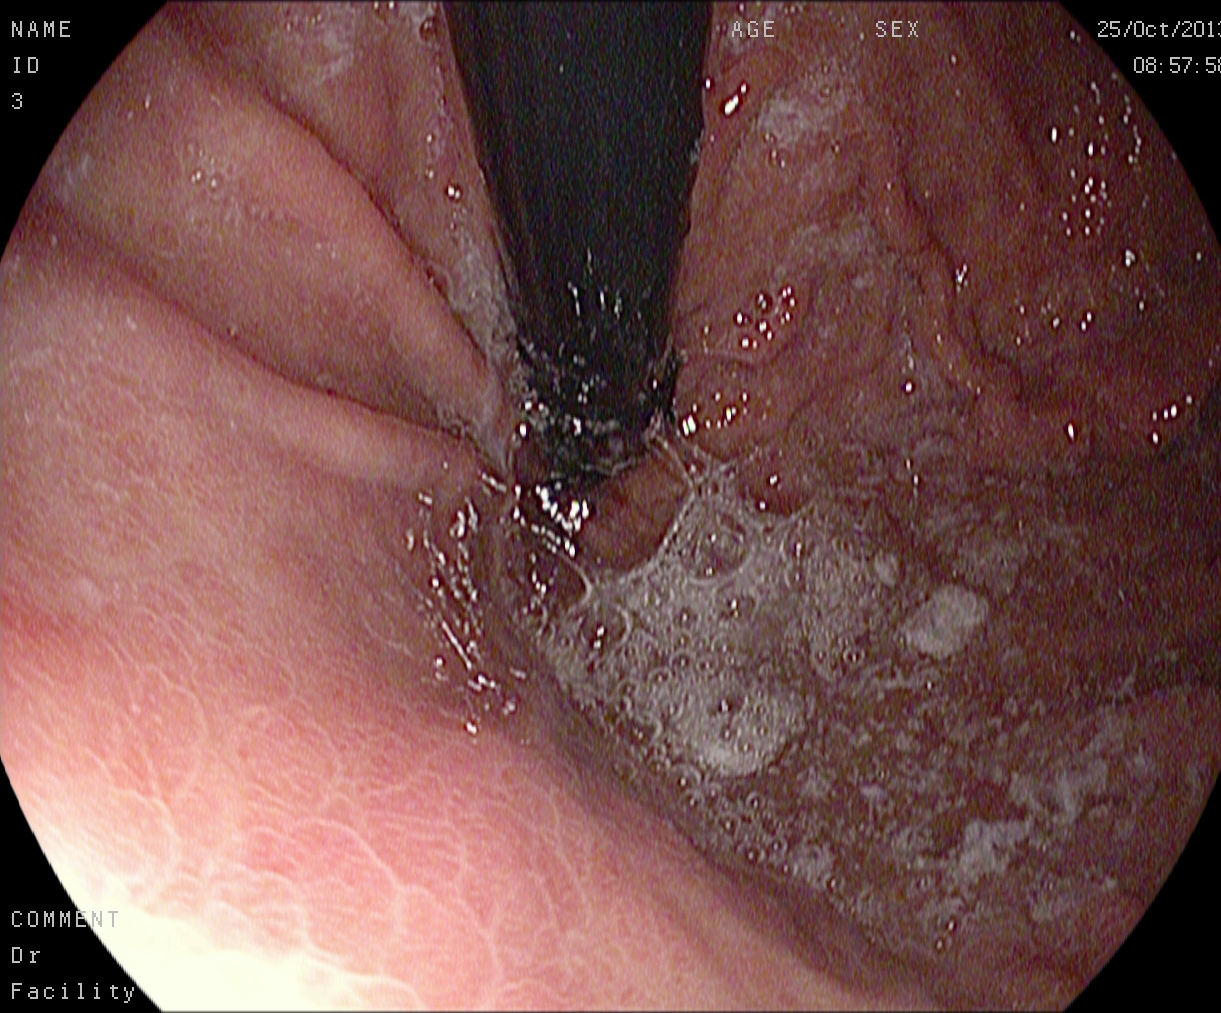Gastroscopy. Anatomical landmark. Finding: stomach in retroflexion.